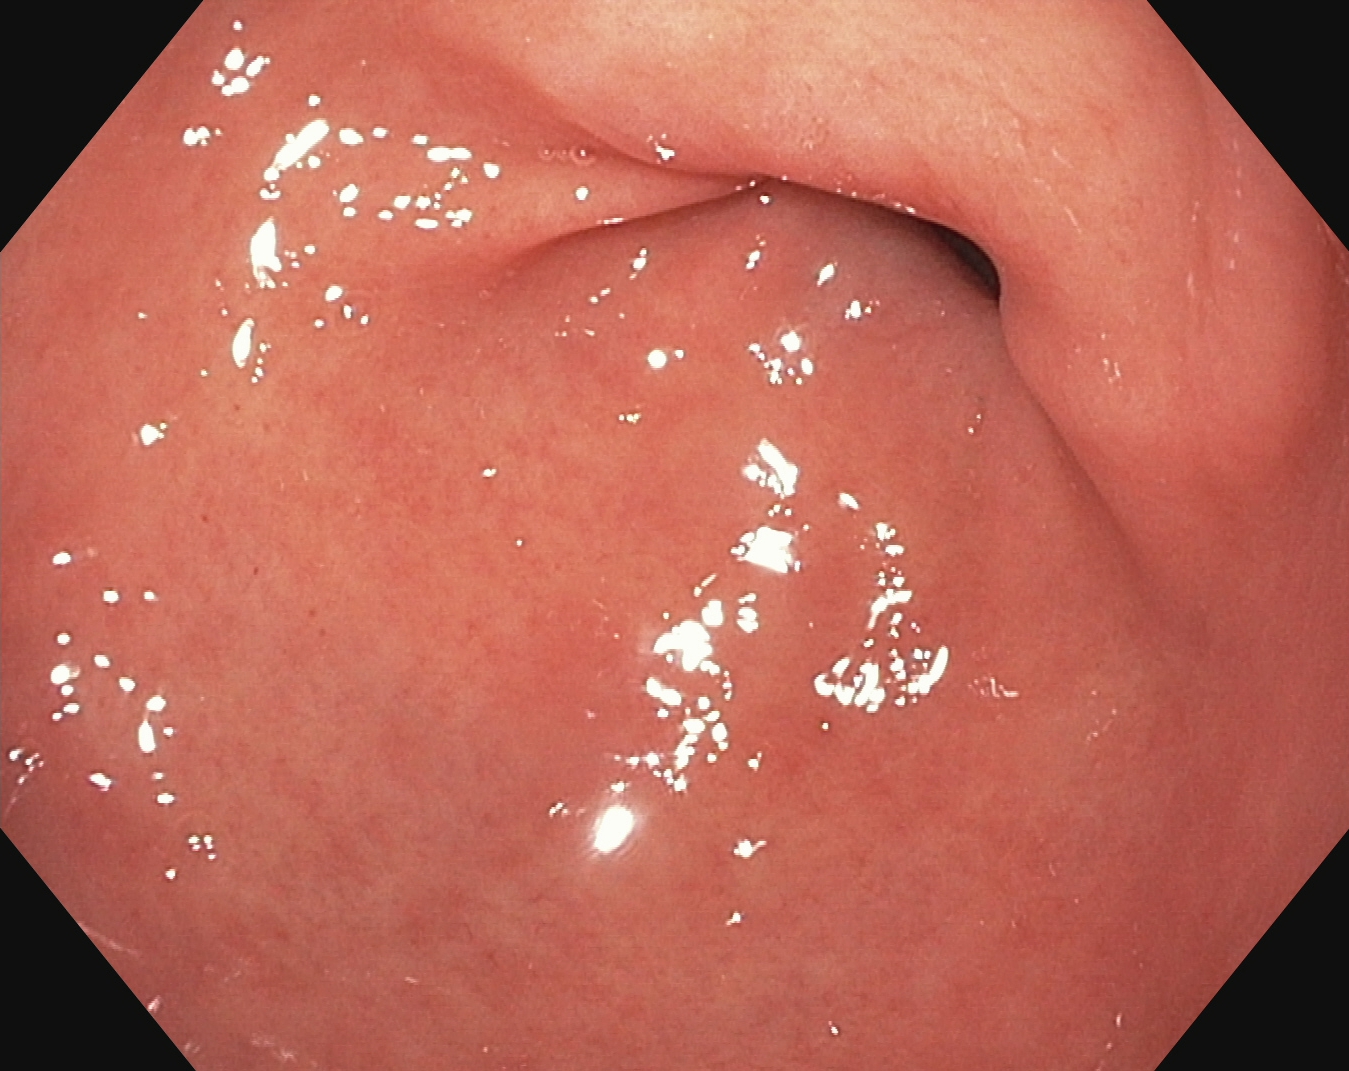{"modality": "EGD", "tract": "upper GI tract", "category": "anatomical landmark", "finding": "pylorus"}